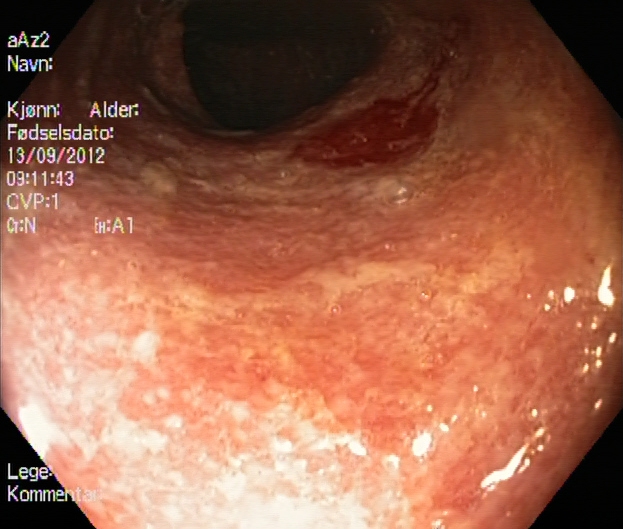Ulcerative colitis, Mayo endoscopic subscore 2.